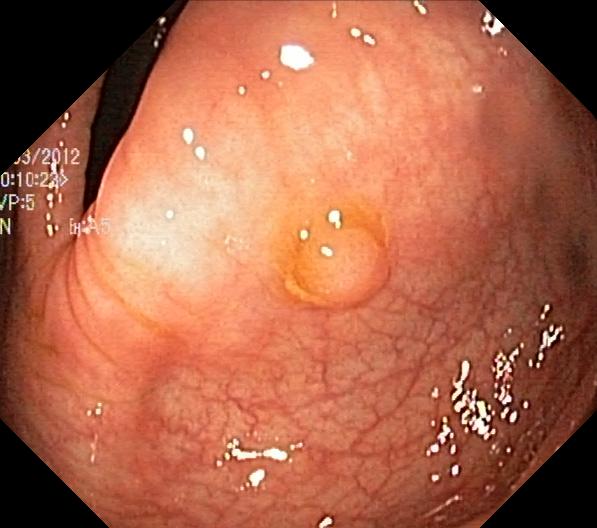Lower-GI endoscopy. Tract: lower GI tract. Finding: colorectal polyp(s).